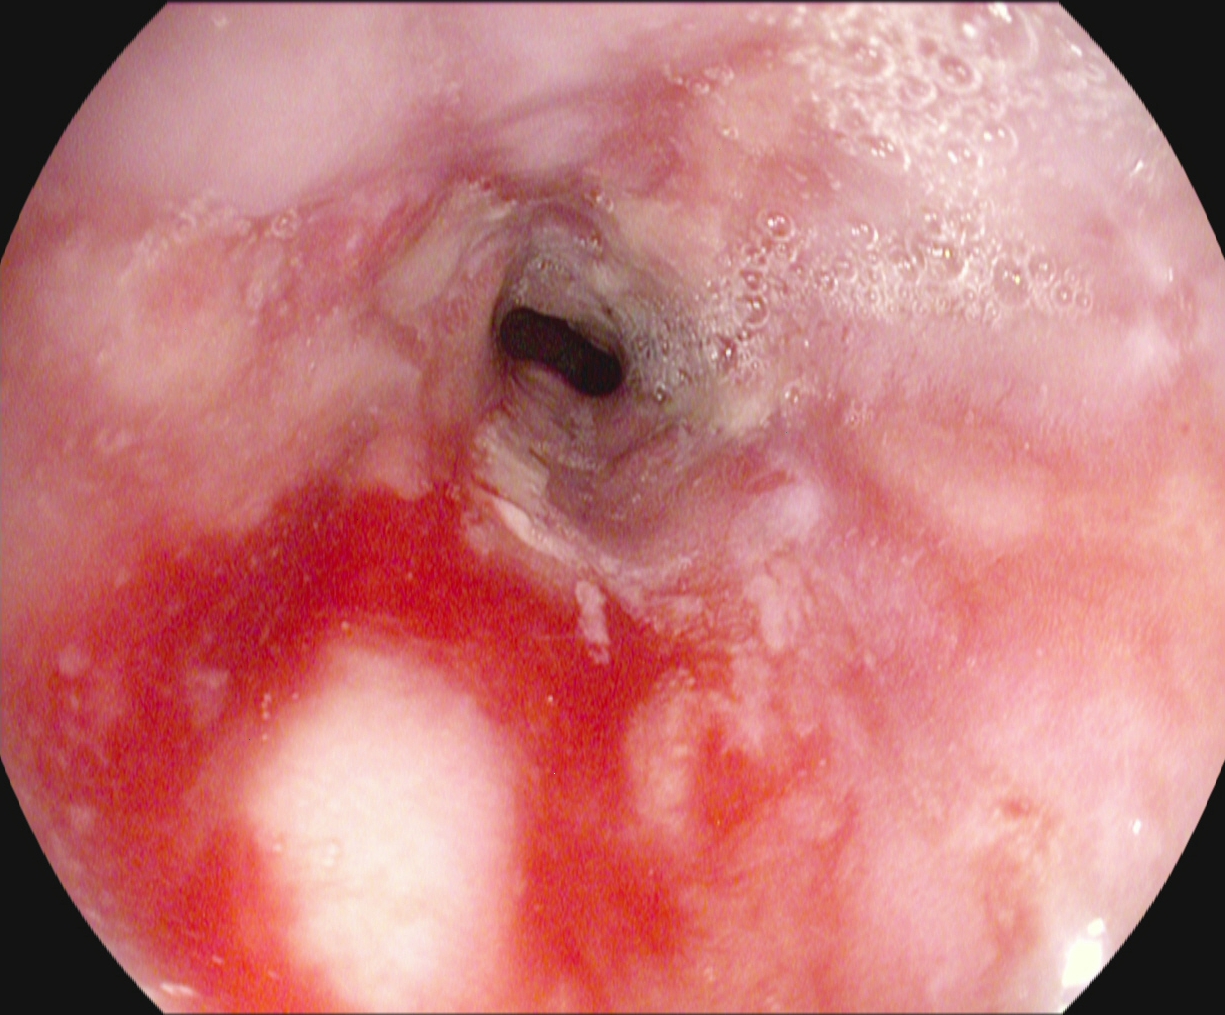{"modality": "esophagogastroduodenoscopy", "category": "pathological finding", "finding": "reflux esophagitis, LA grade B\u2013D"}